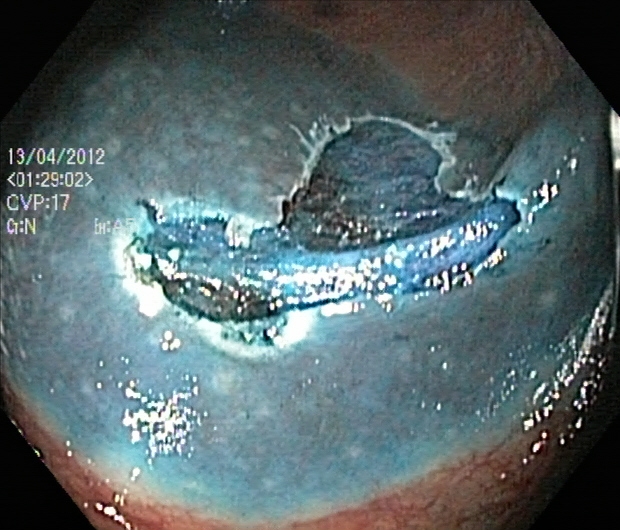{"modality": "colonoscopy", "tract": "lower GI tract", "finding": "dyed resection margins (post-polypectomy)"}